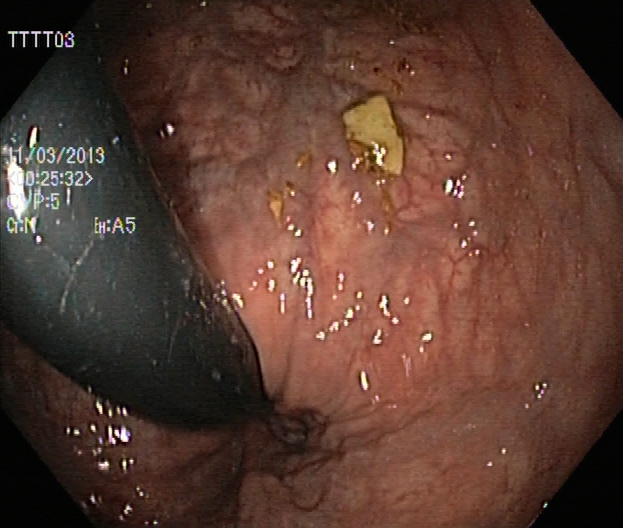{"modality": "lower gastrointestinal endoscopy", "tract": "lower GI tract", "finding": "rectum in retroflexion"}